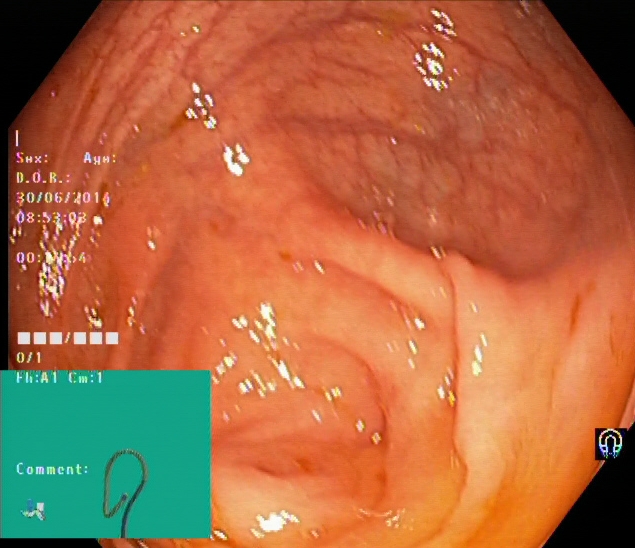PROCEDURE: Colonoscopy.
FINDINGS: Cecum.